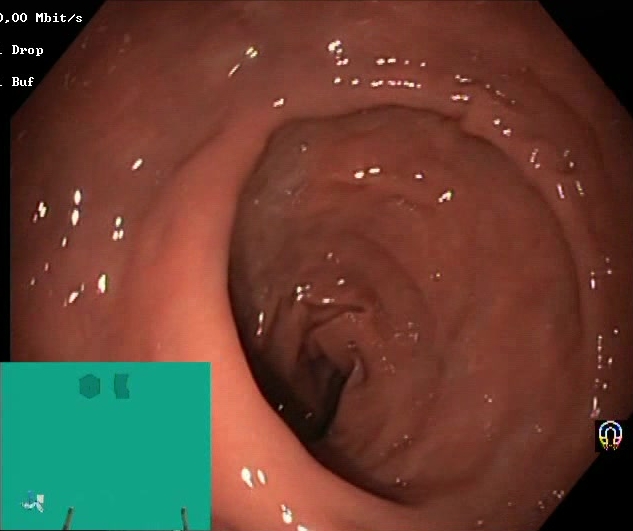Boston Bowel Preparation Scale score 2–3 (adequate preparation).